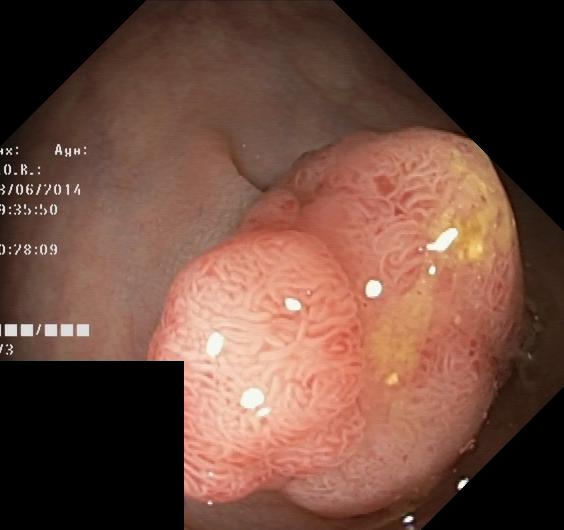Endoscopic image of the lower GI tract showing colorectal polyp(s).